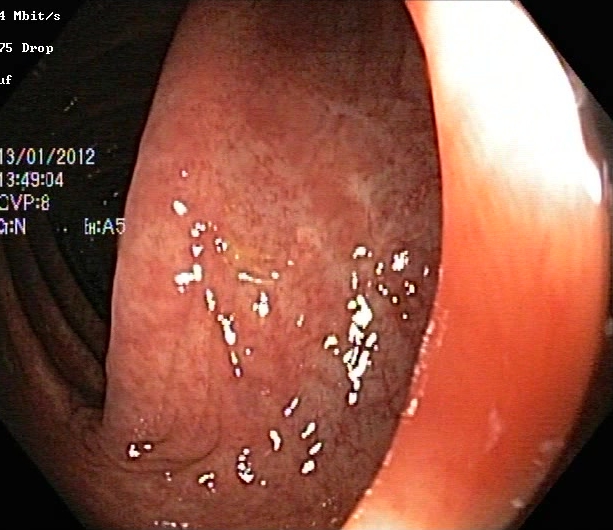GI endoscopy image of the lower GI tract showing ulcerative colitis, Mayo endoscopic subscore 2.